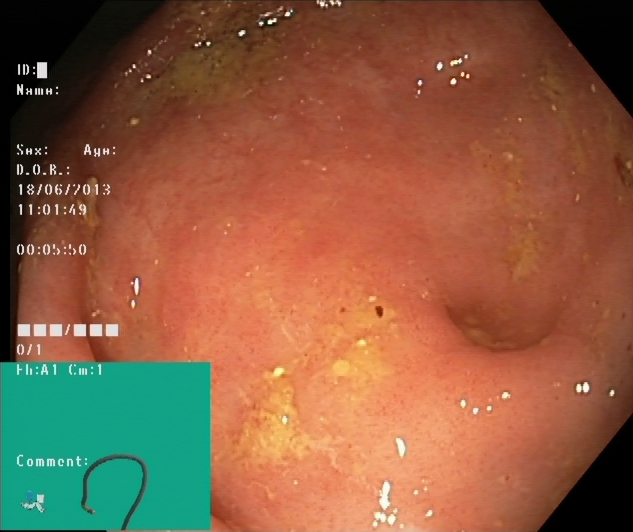GI endoscopy image of the lower GI tract showing cecum.